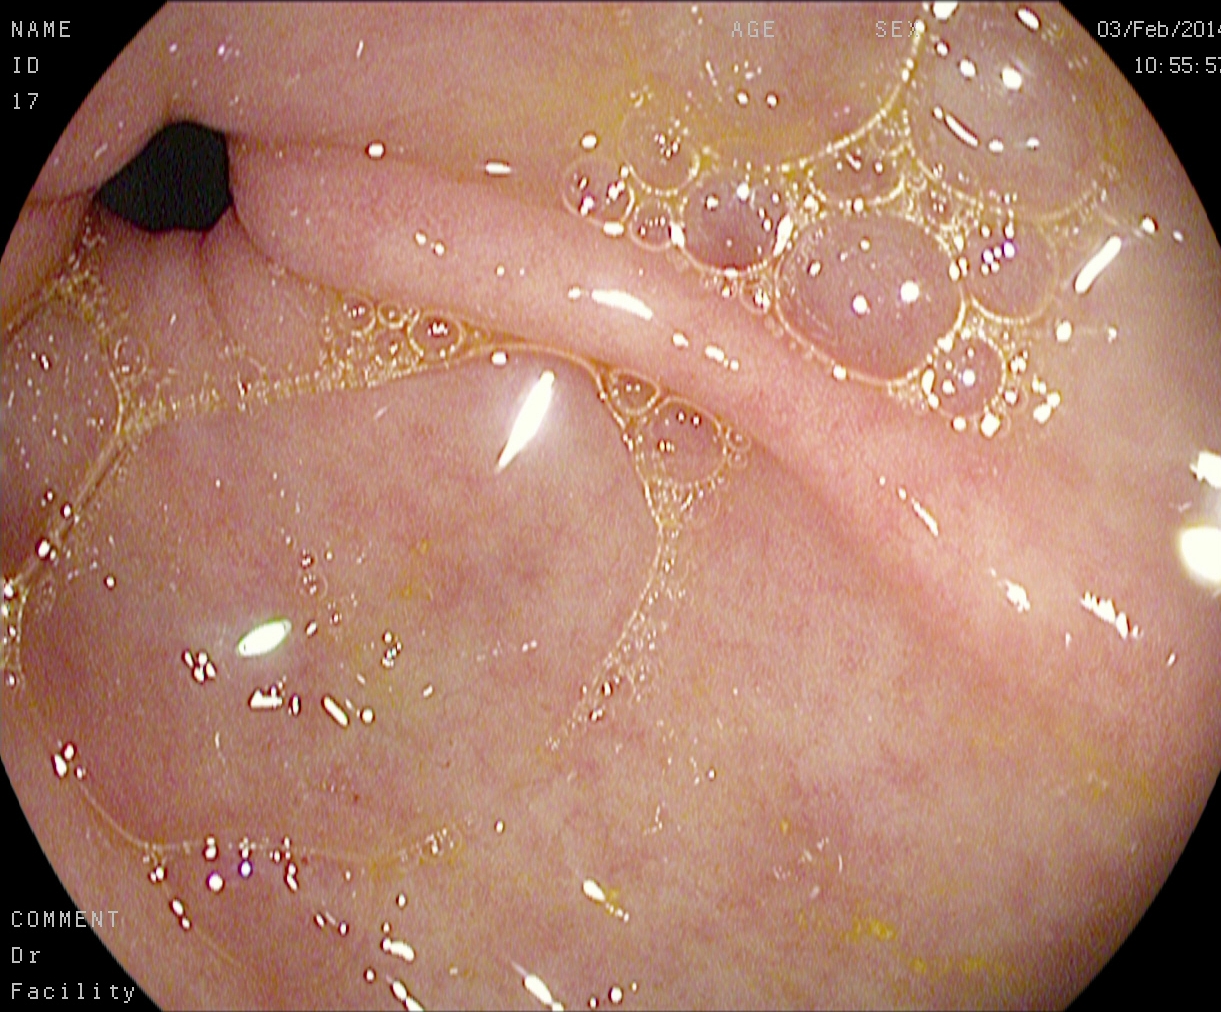Upper-GI endoscopy. Tract: upper GI tract. Finding: pylorus.